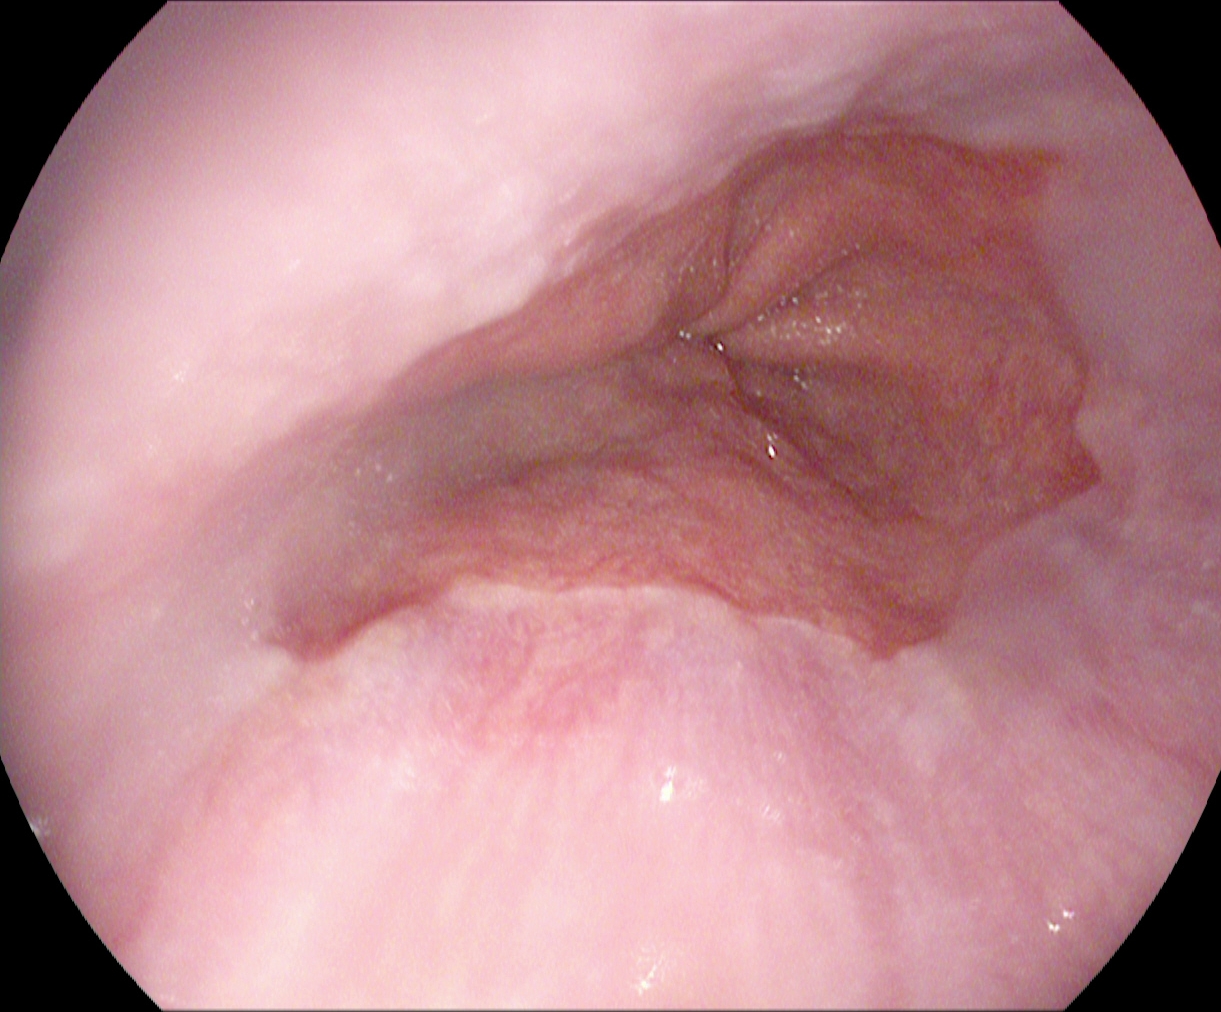Esophagogastroduodenoscopy — reflux esophagitis, Los Angeles grade A.